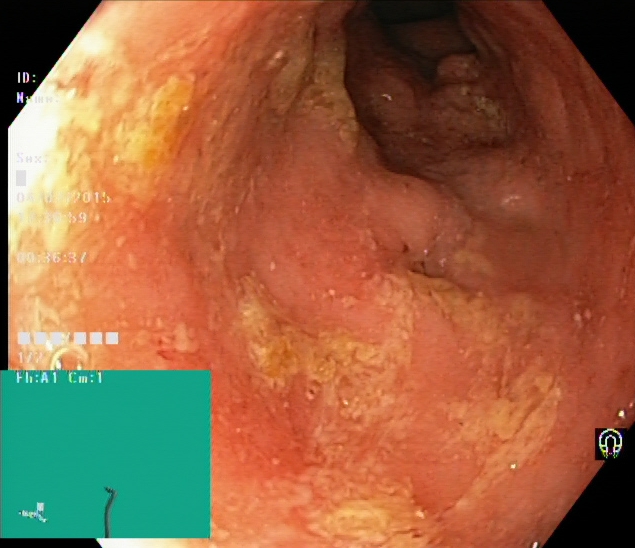Lower gastrointestinal endoscopy. Tract: lower GI tract. Pathological finding. Finding: UC, Mayo endoscopic subscore 1.